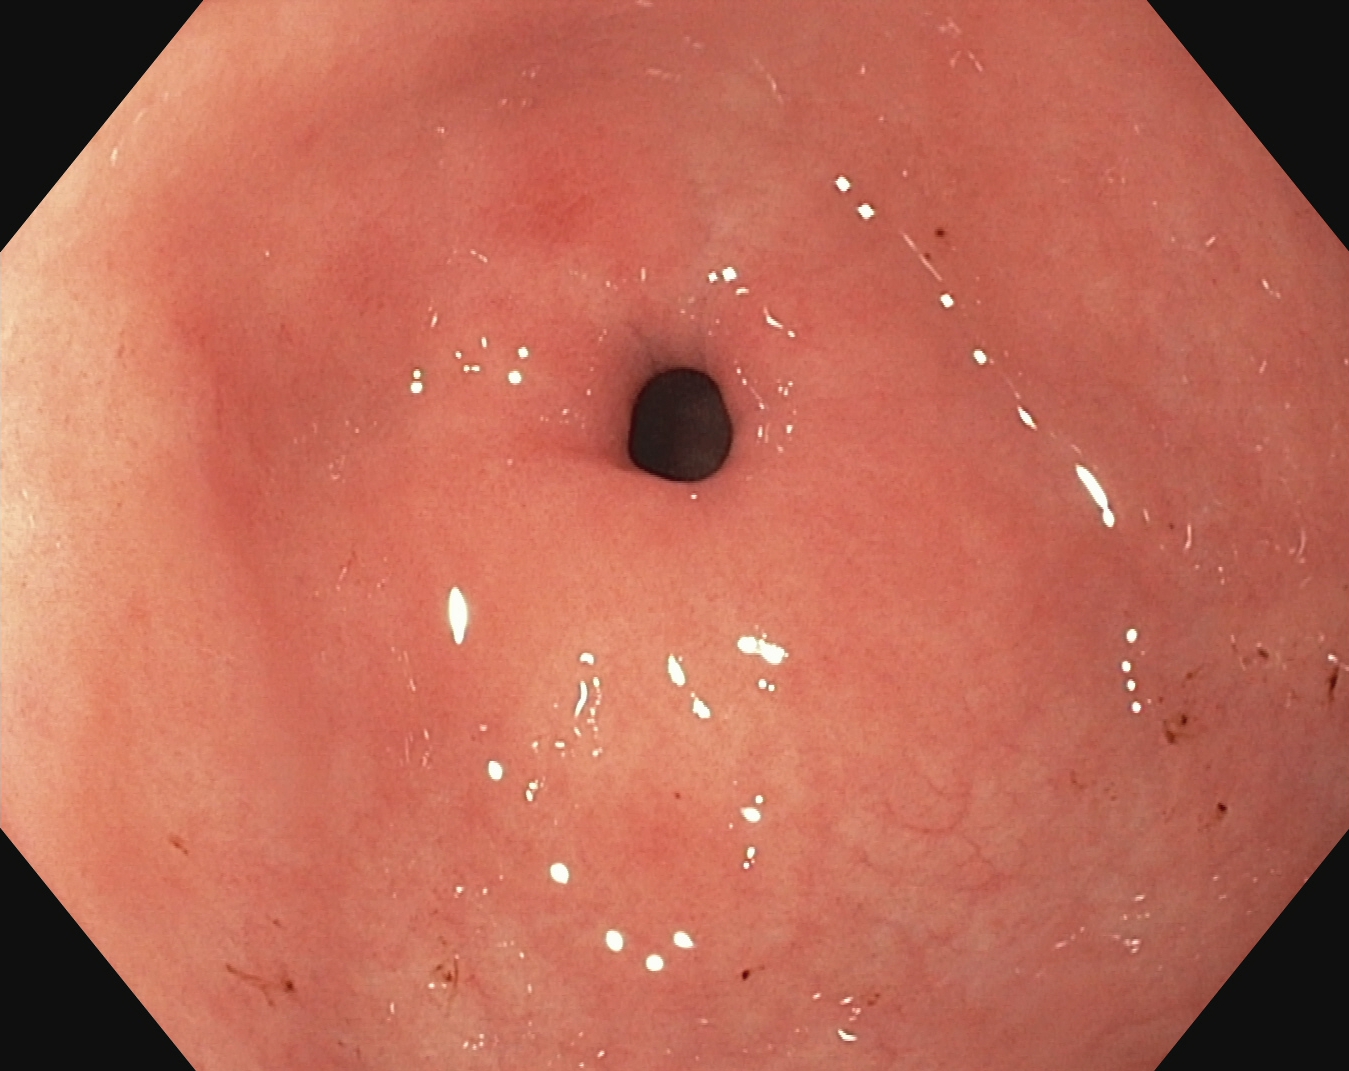PROCEDURE: Upper-GI endoscopy.
CATEGORY: Anatomical landmark.
FINDINGS: Pylorus.